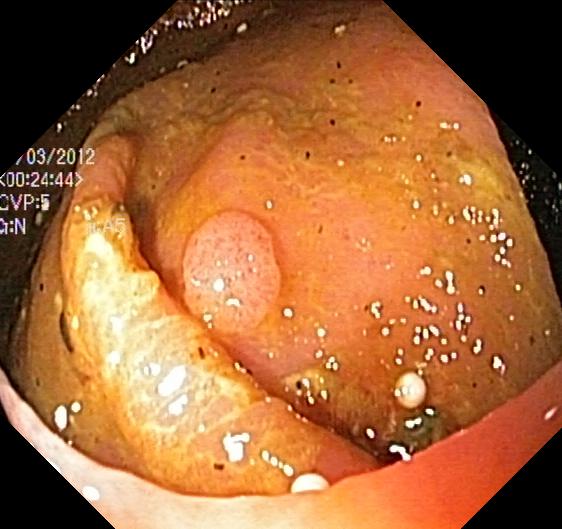PROCEDURE: Lower-GI endoscopy.
CATEGORY: Pathological finding.
FINDINGS: Colorectal polyp(s).